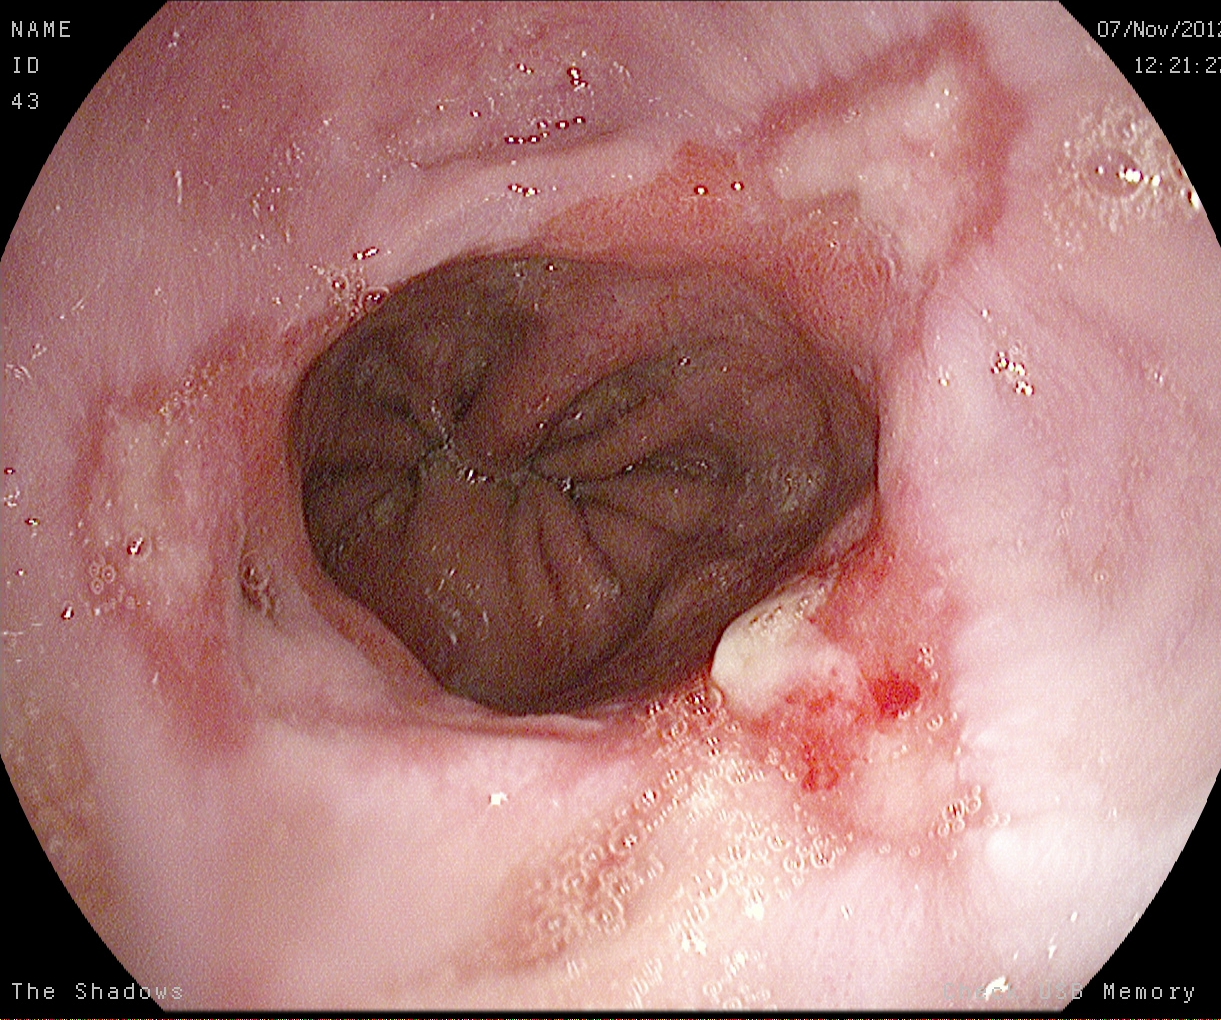EGD. Tract: upper GI tract. Pathological finding. Finding: reflux esophagitis, Los Angeles grade B–D.